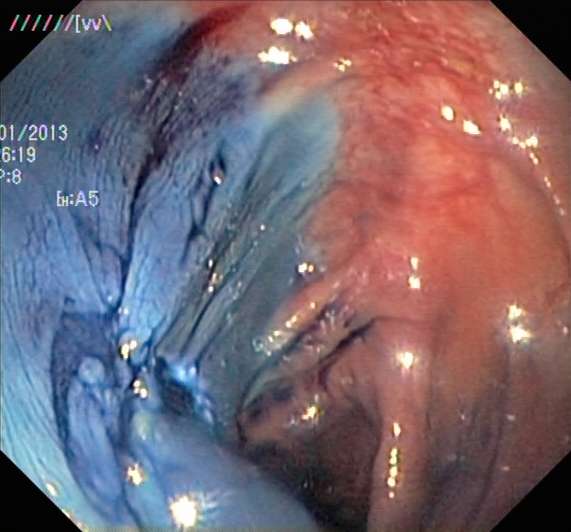This endoscopic image shows dyed resection margins (post-polypectomy).